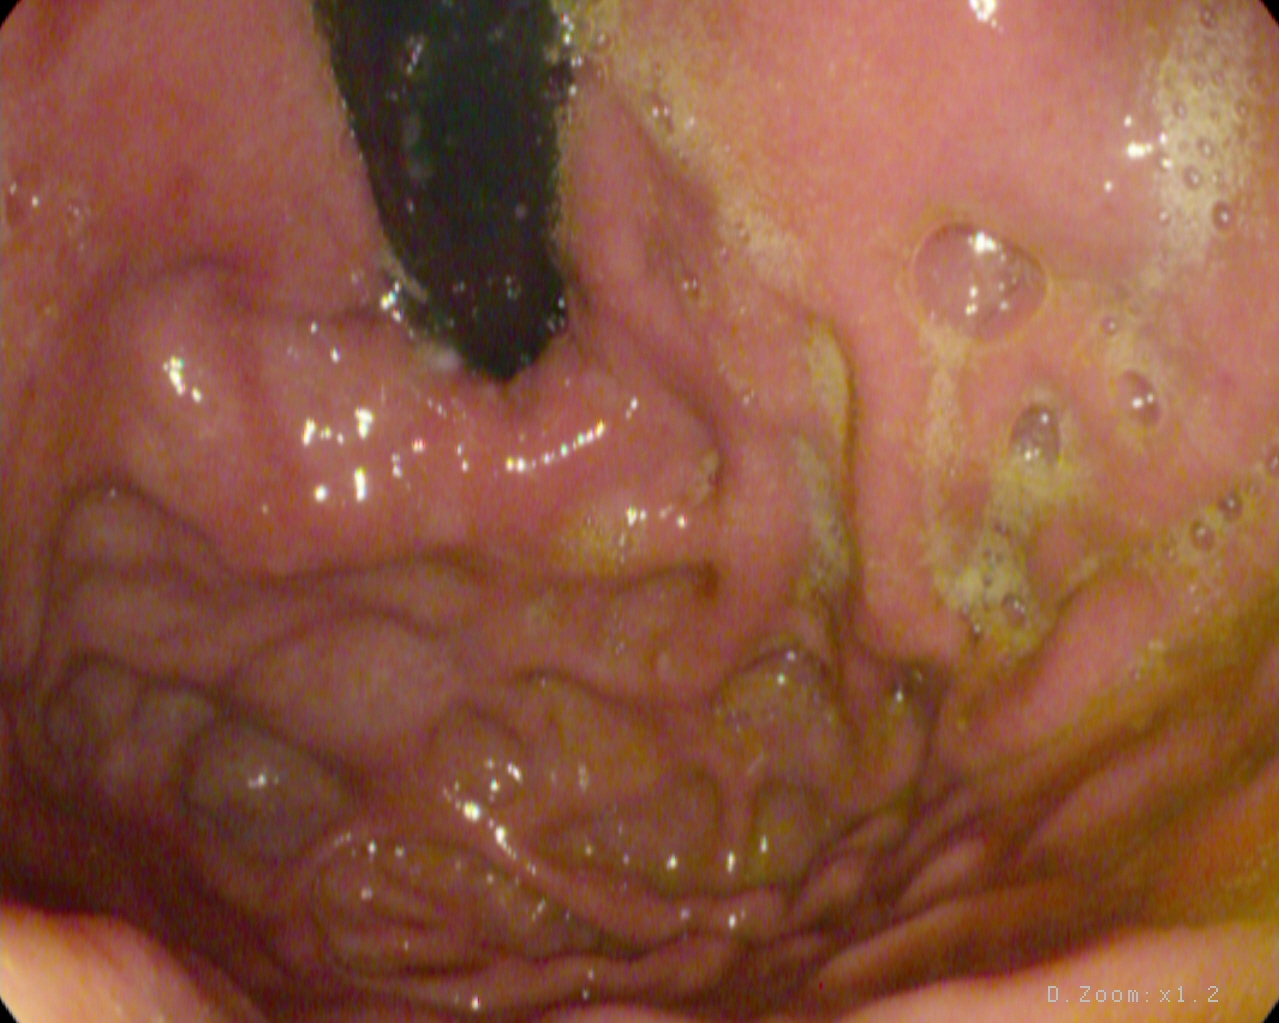This endoscopy frame of the upper GI tract shows stomach in retroflexion.